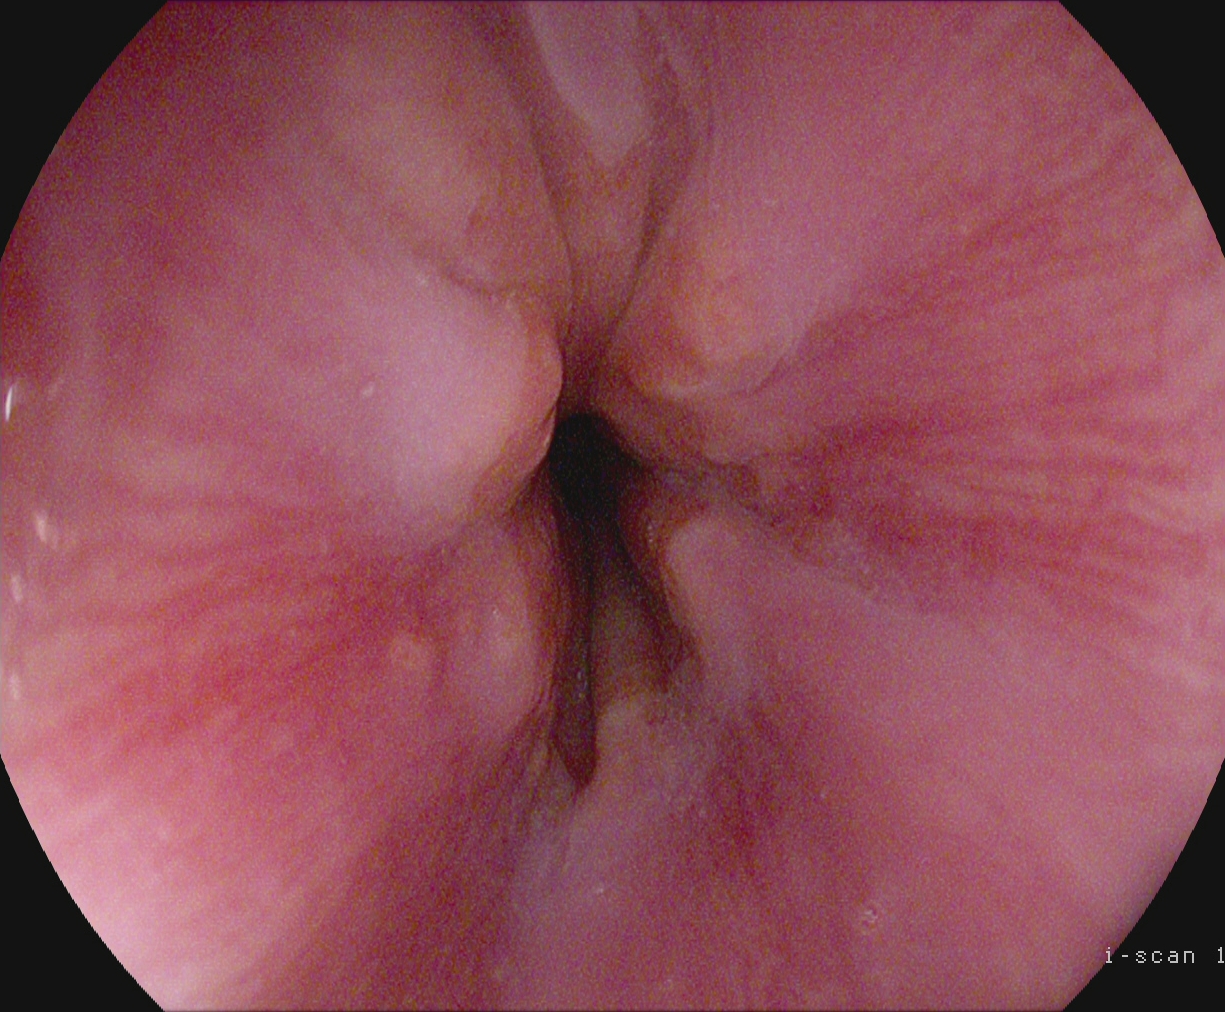modality: upper-GI endoscopy
category: anatomical landmark
finding: Z-line (gastroesophageal junction)